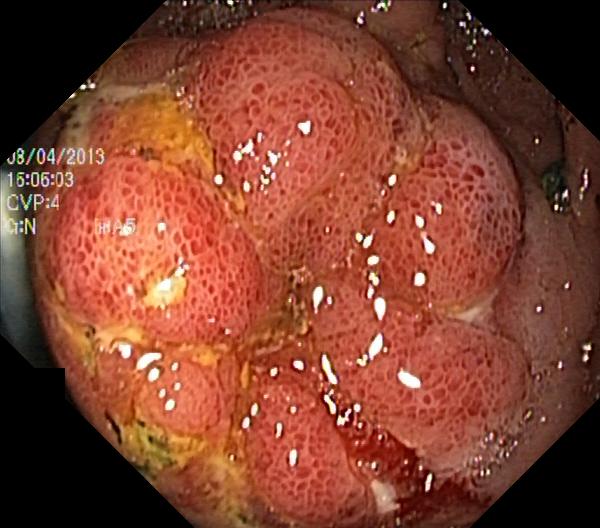PROCEDURE: Lower-GI endoscopy.
FINDINGS: Colorectal polyp(s).